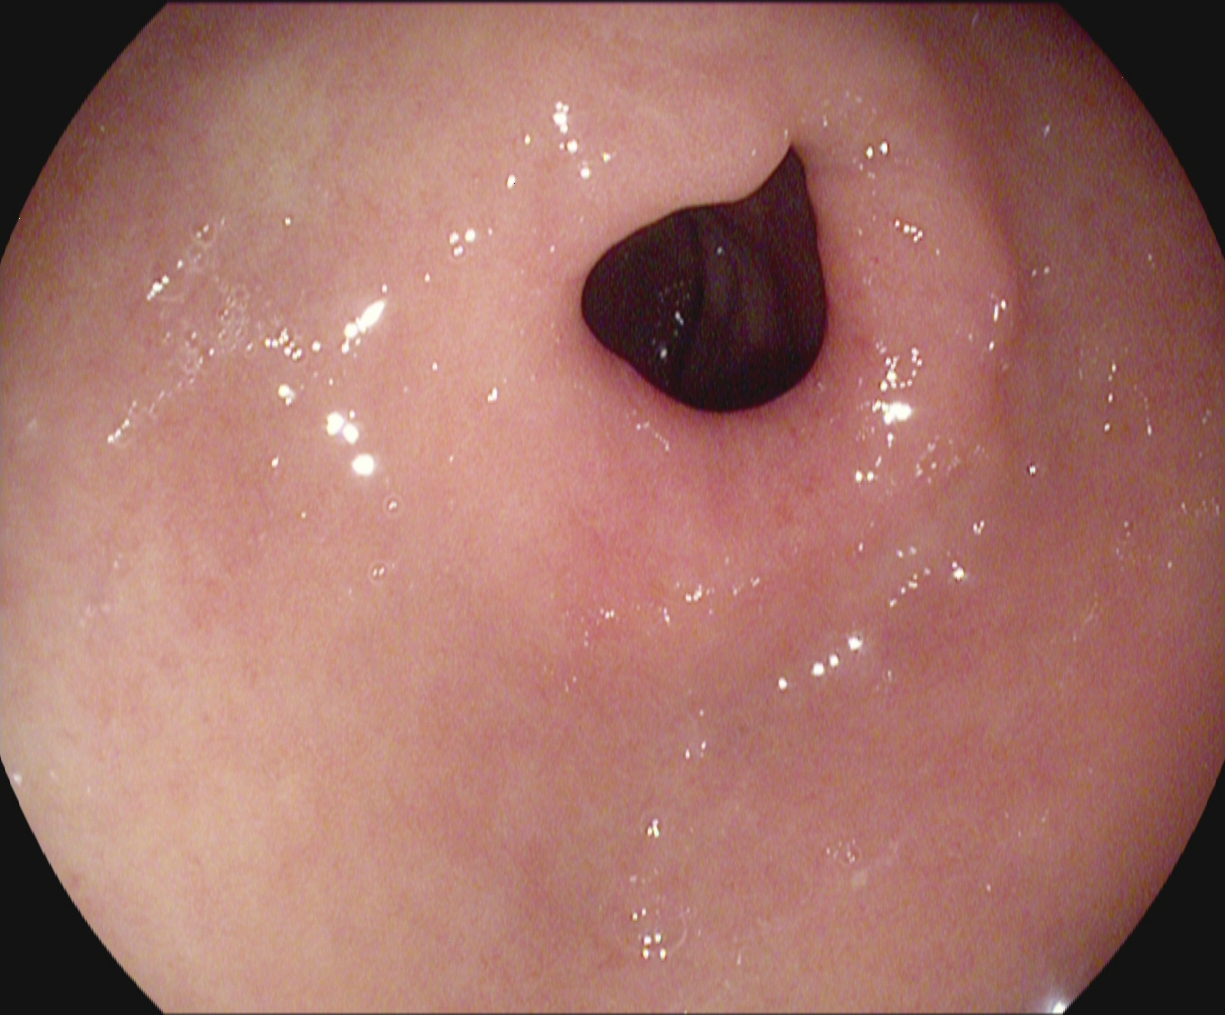pylorus.